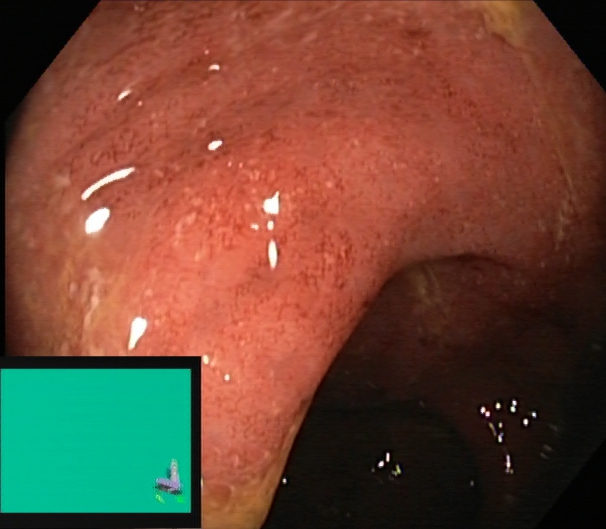Endoscopy image showing ulcerative colitis, Mayo endoscopic subscore 2.